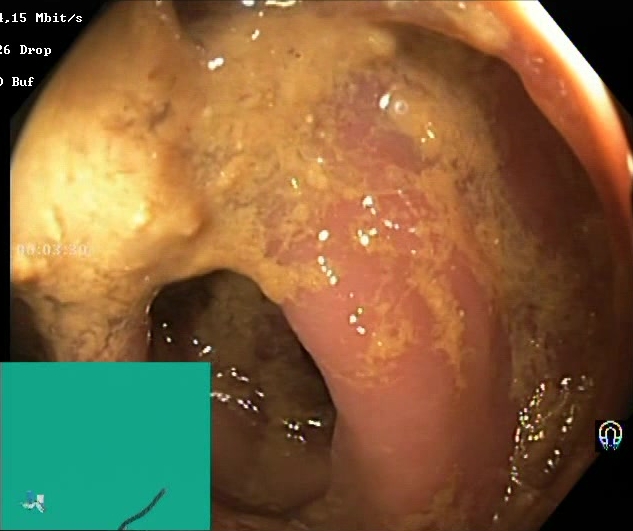Lower gastrointestinal endoscopy. Tract: lower GI tract. Mucosal-view quality. Finding: BBPS score 0–1 (inadequate preparation).